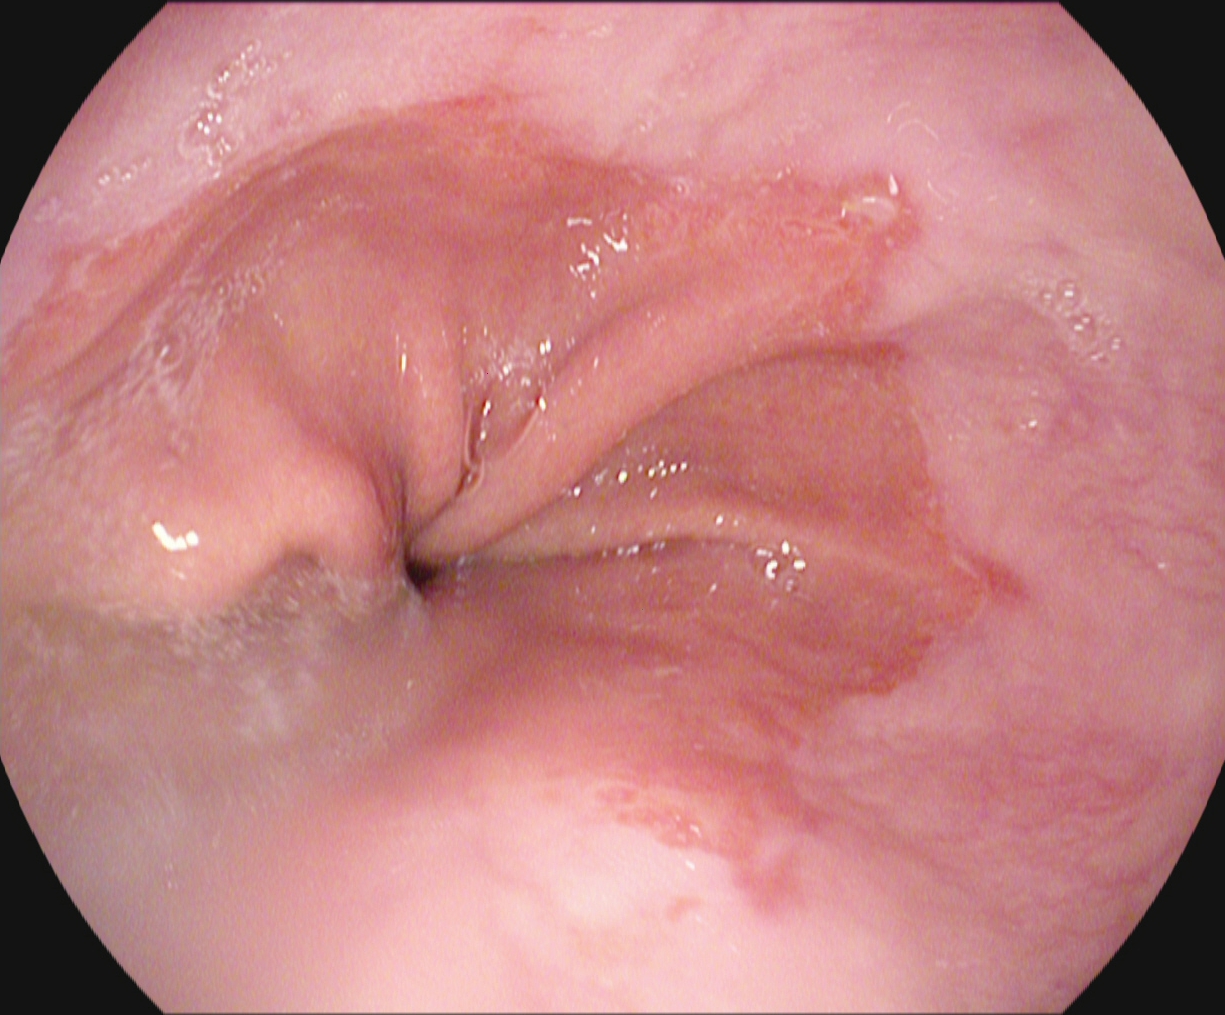EGD — reflux esophagitis, LA grade A.